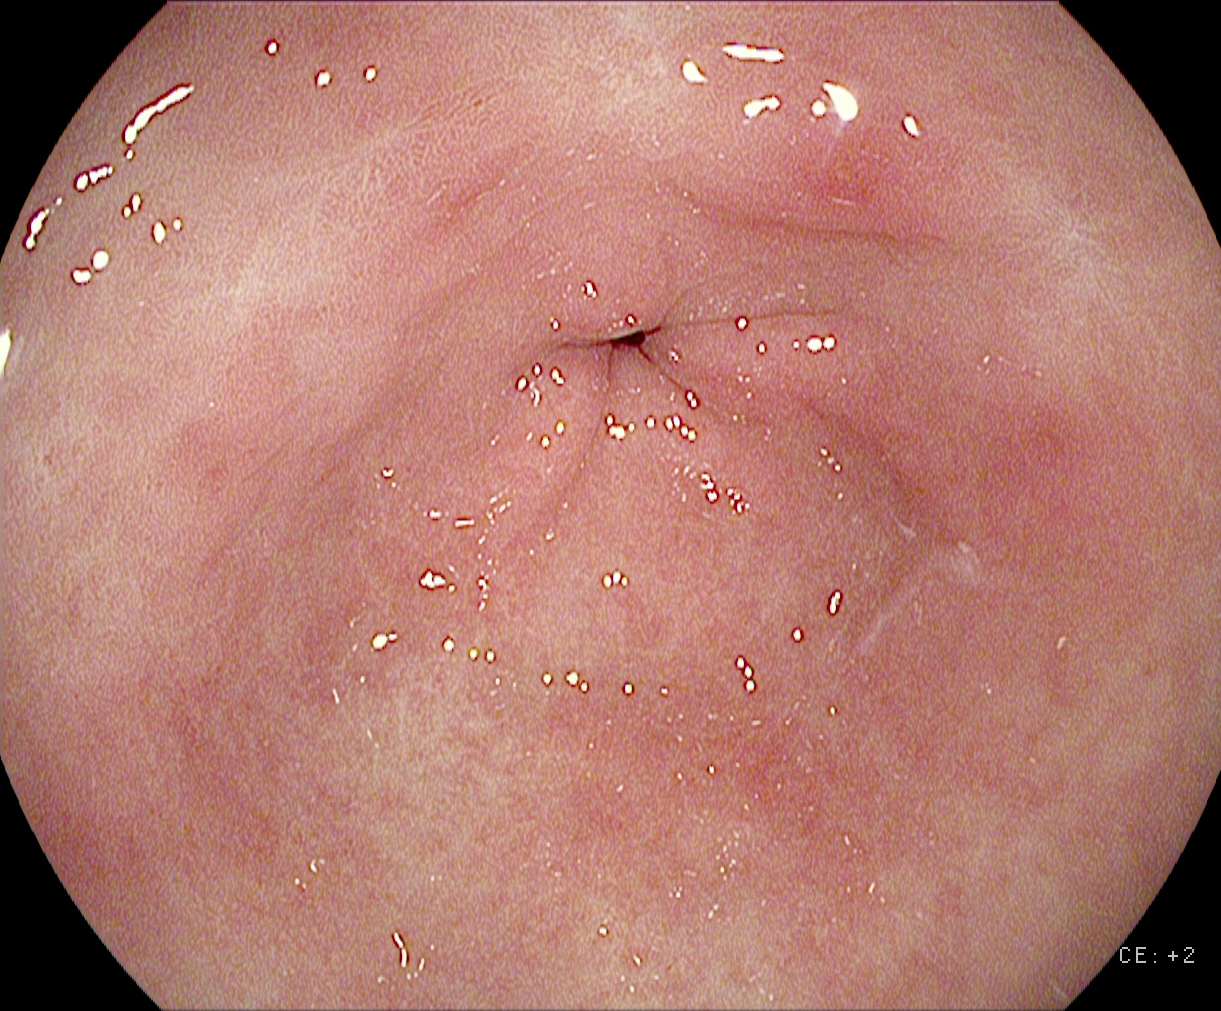modality: upper-GI endoscopy
tract: upper GI tract
finding: pylorus